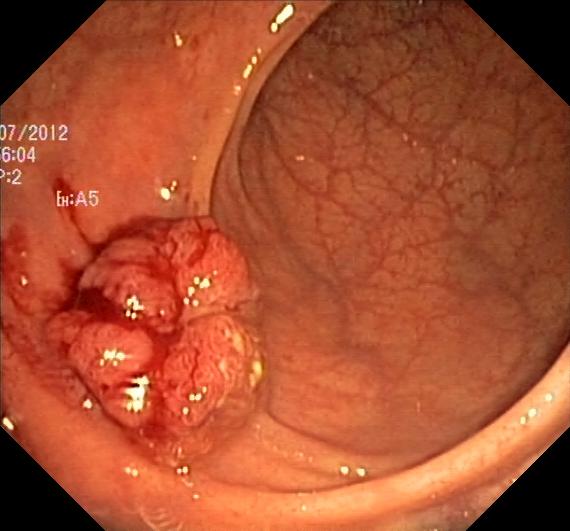modality: lower gastrointestinal endoscopy | finding: colorectal polyp(s)